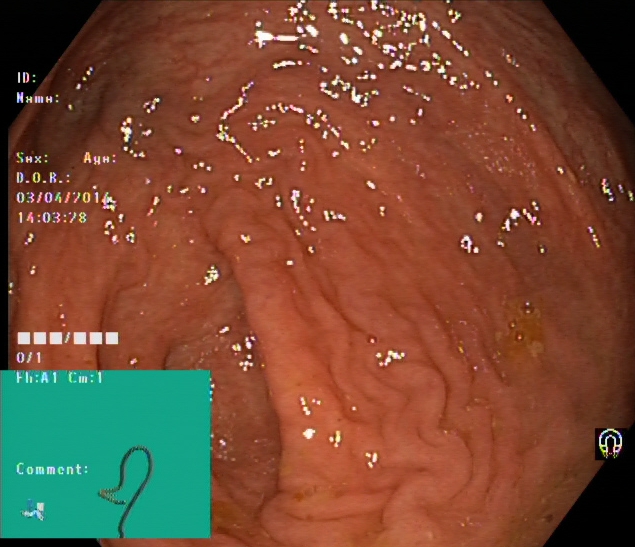Endoscopic frame of the lower GI tract showing cecum.